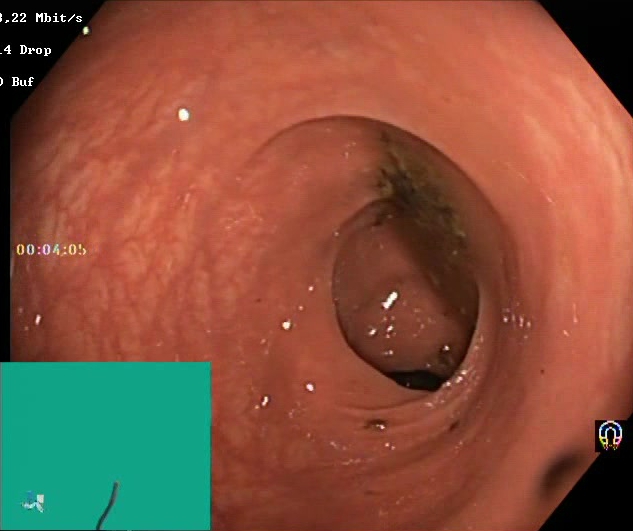Lower gastrointestinal endoscopy. Finding: BBPS score 0–1 (inadequate preparation).